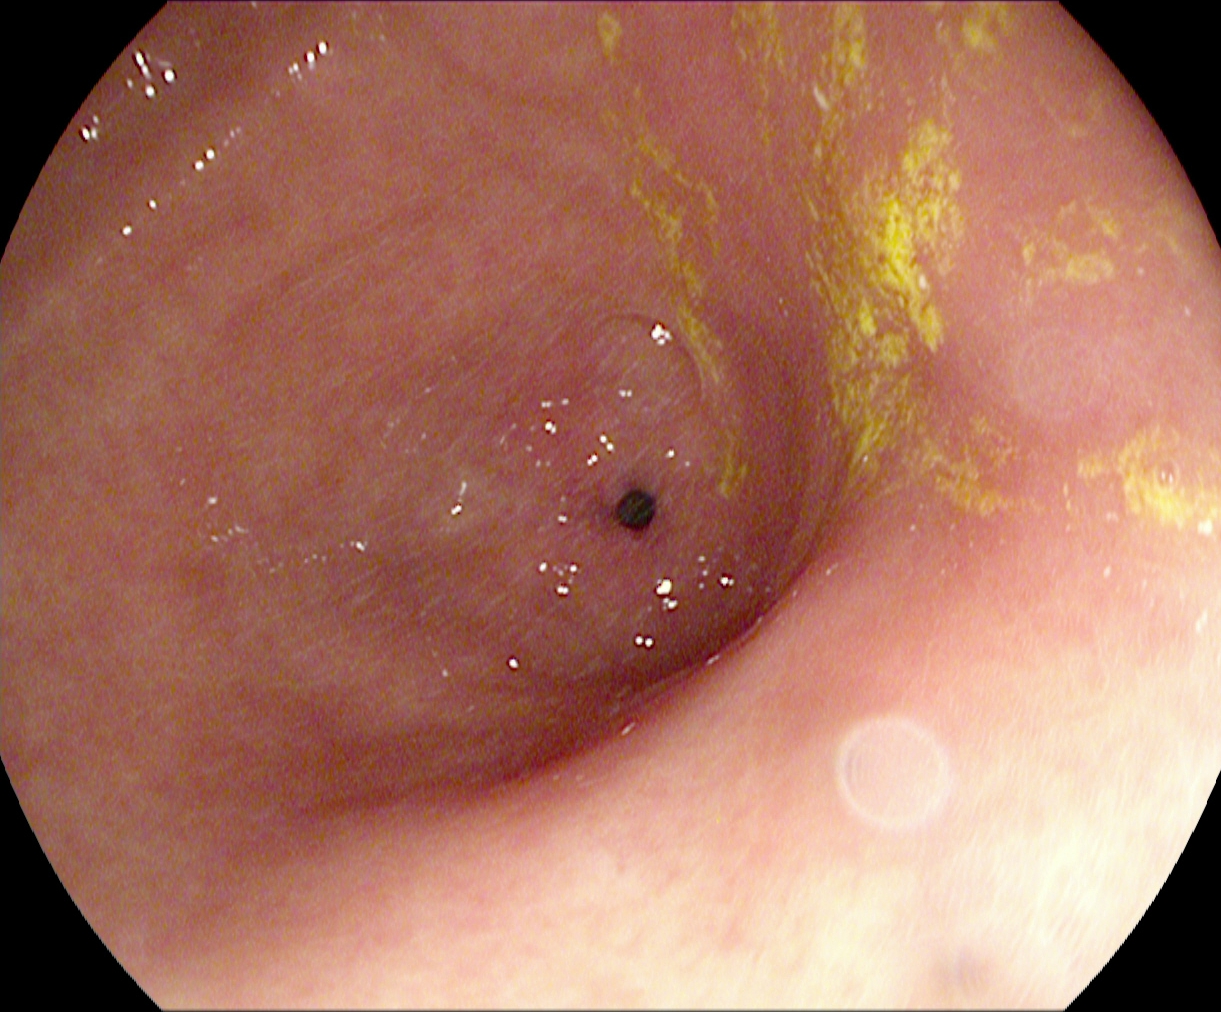Upper-GI endoscopy. Anatomical landmark. Finding: pylorus.